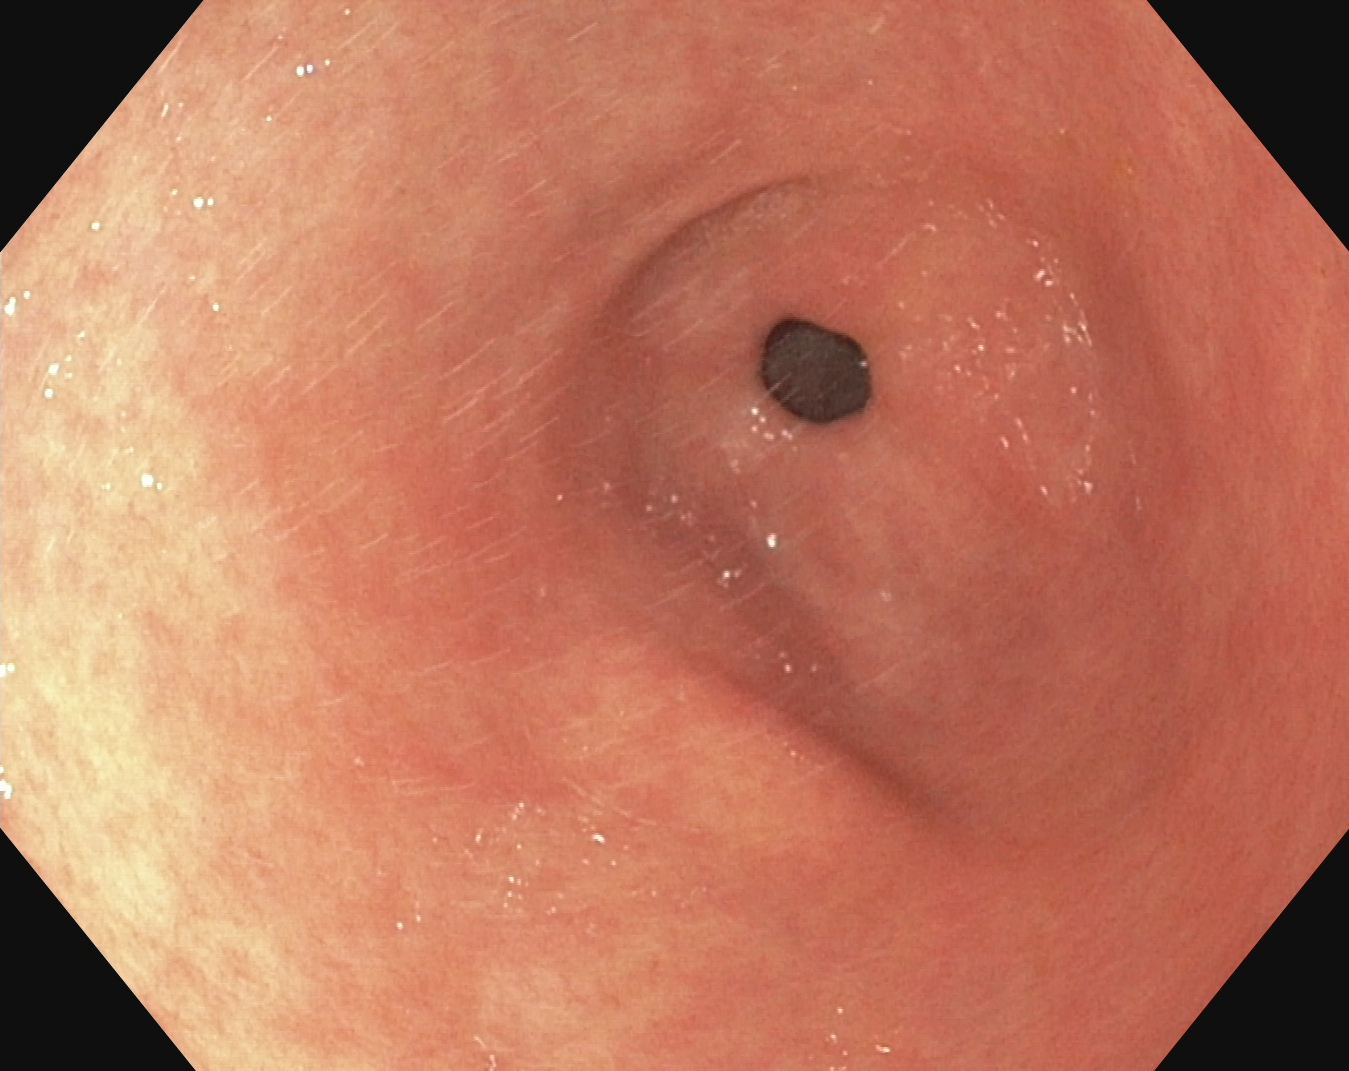Pylorus.